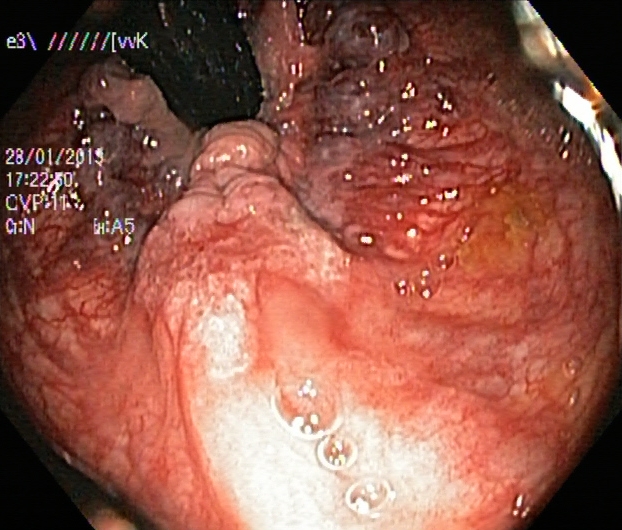Endoscopy image showing rectum in retroflexion.